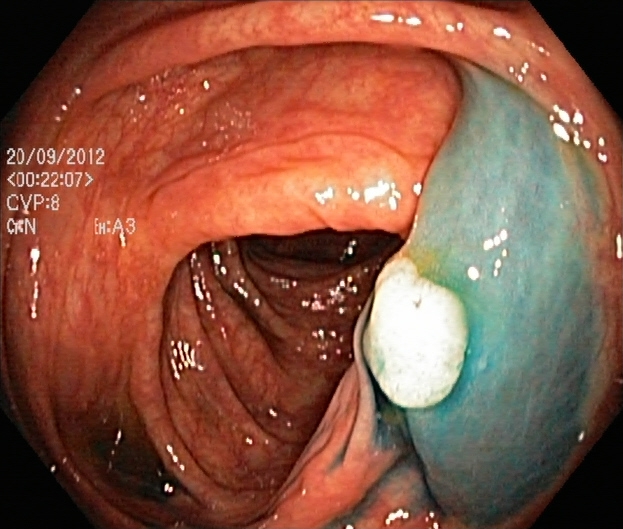This endoscopy frame of the lower GI tract shows dyed and lifted polyp (pre-resection).